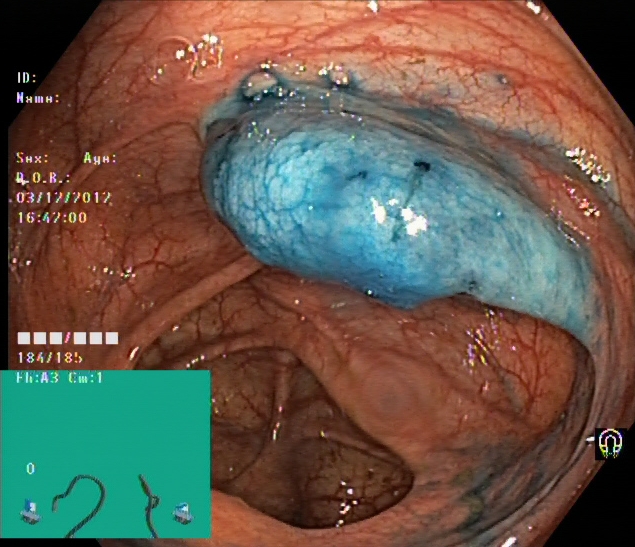This endoscopic image of the lower GI tract shows dyed and lifted polyp (pre-resection).